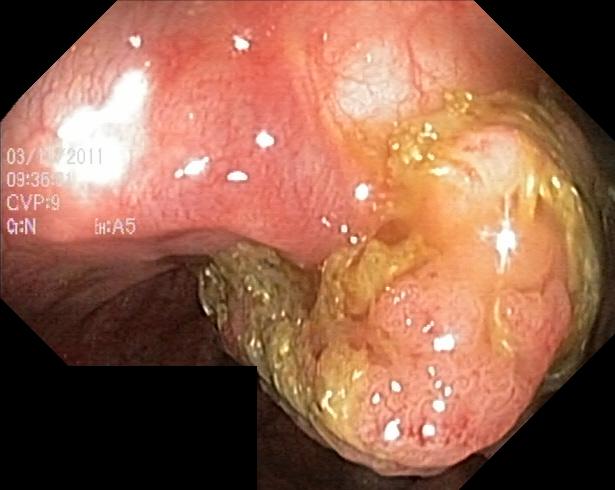Colorectal polyp(s).